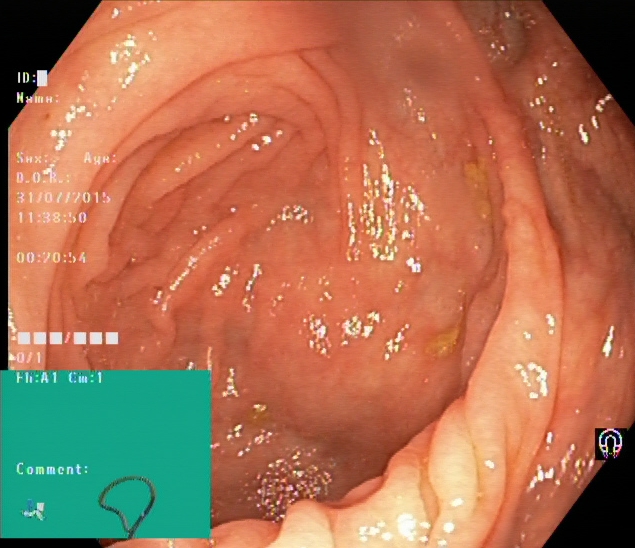Colonoscopy — cecum.